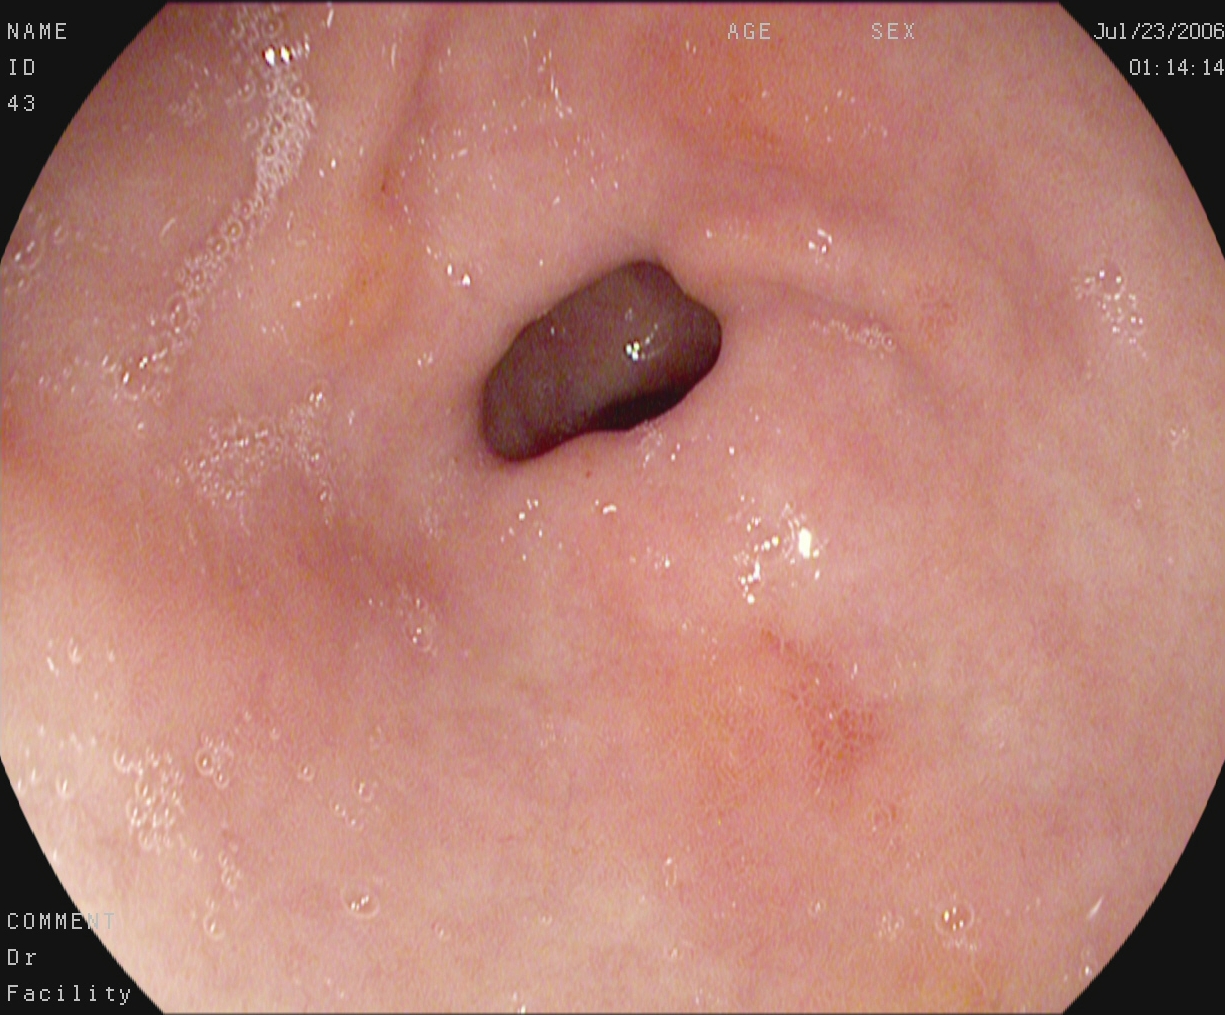Esophagogastroduodenoscopy. Tract: upper GI tract. Anatomical landmark. Finding: pylorus.